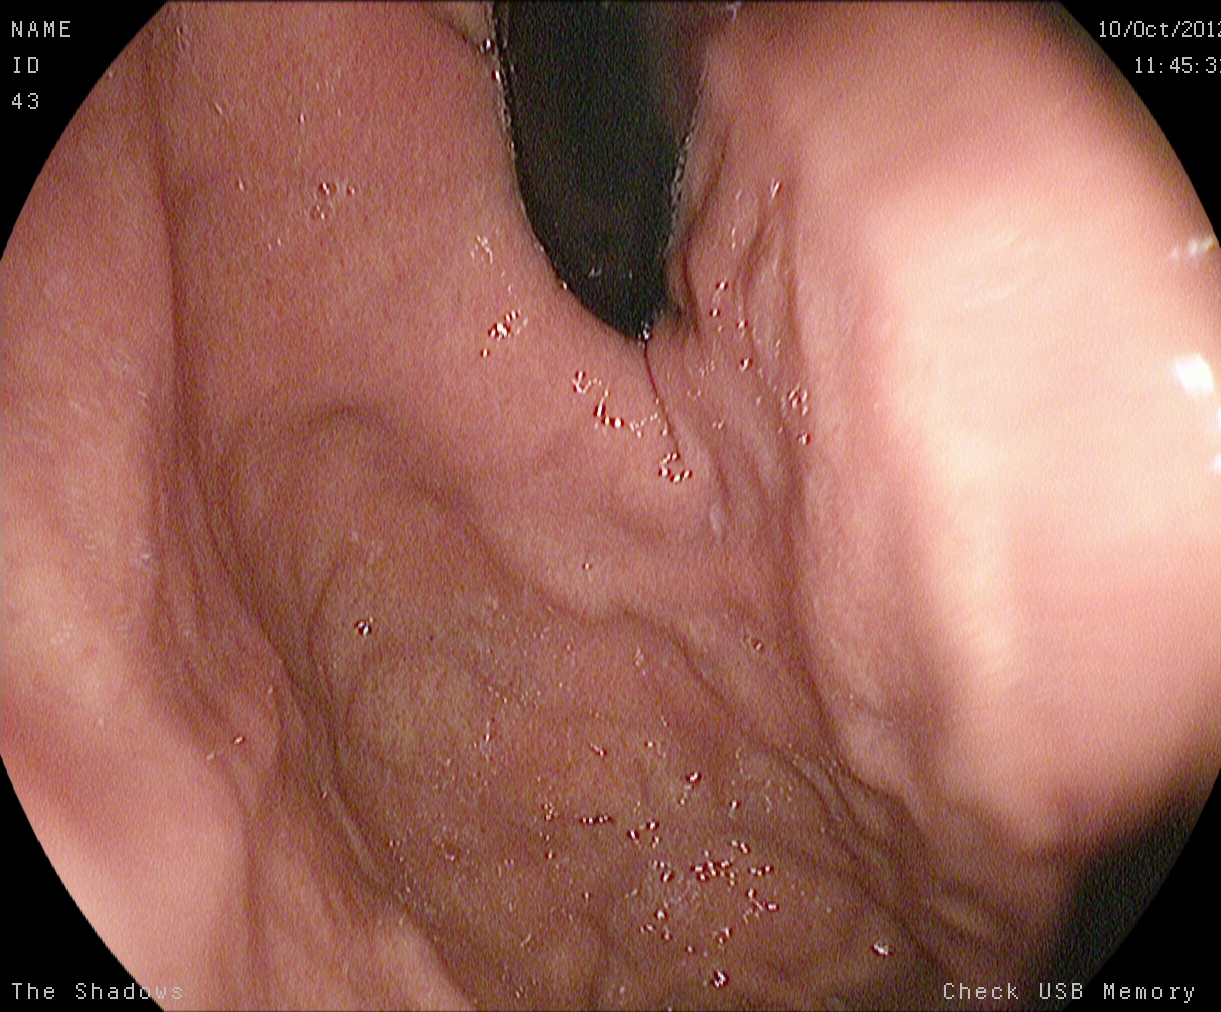{"modality": "upper-GI endoscopy", "finding": "stomach in retroflexion"}